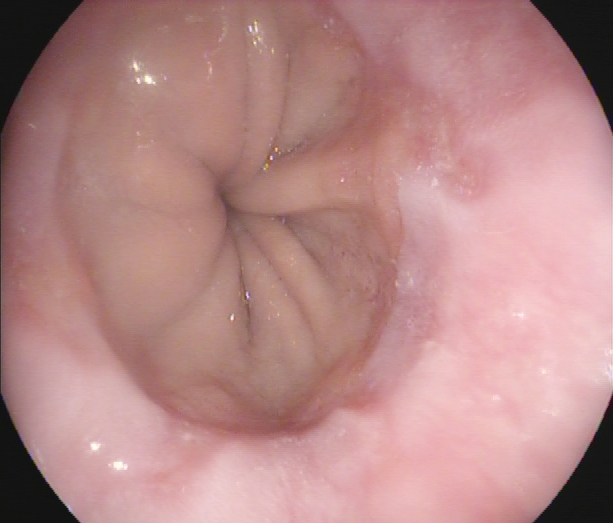Endoscopic image of the upper GI tract showing reflux esophagitis, LA grade A.